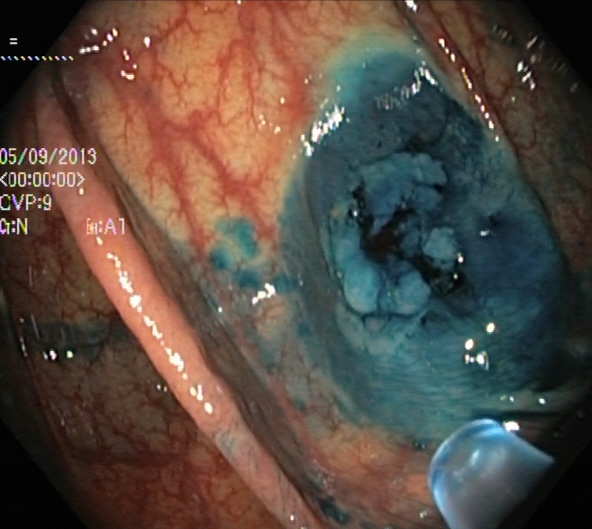{"modality": "lower-GI endoscopy", "tract": "lower GI tract", "category": "therapeutic intervention", "finding": "dyed and lifted polyp (pre-resection)"}